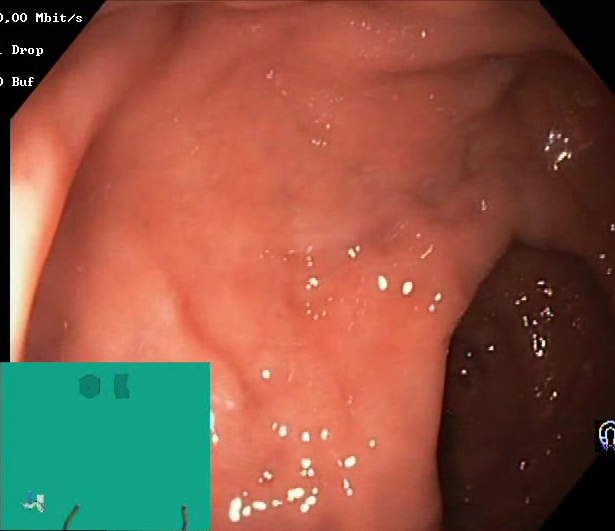PROCEDURE: Colonoscopy.
CATEGORY: Mucosal-view quality.
FINDINGS: Boston Bowel Preparation Scale score 2–3 (adequate preparation).